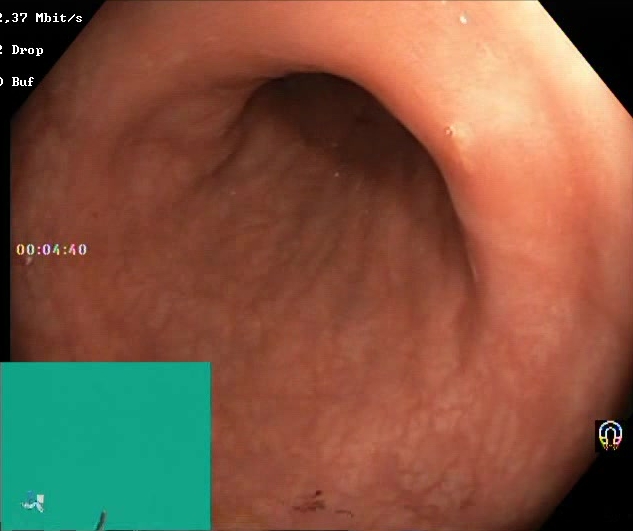modality: lower gastrointestinal endoscopy; tract: lower GI tract; finding: BBPS score 2–3 (adequate preparation)